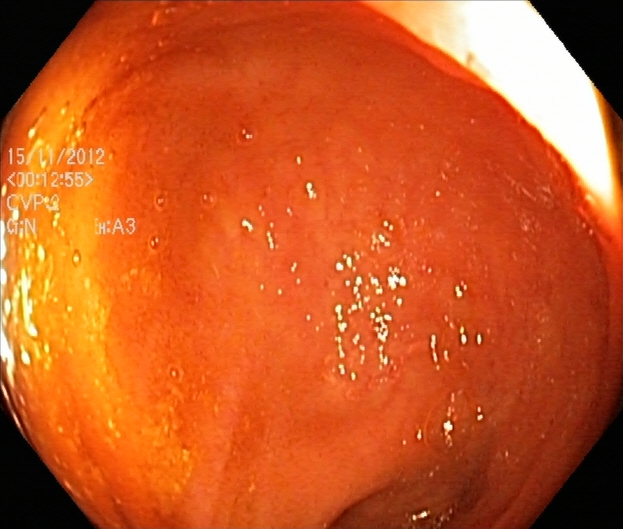{"modality": "lower gastrointestinal endoscopy", "tract": "lower GI tract", "category": "pathological finding", "finding": "UC, Mayo endoscopic subscore 1"}